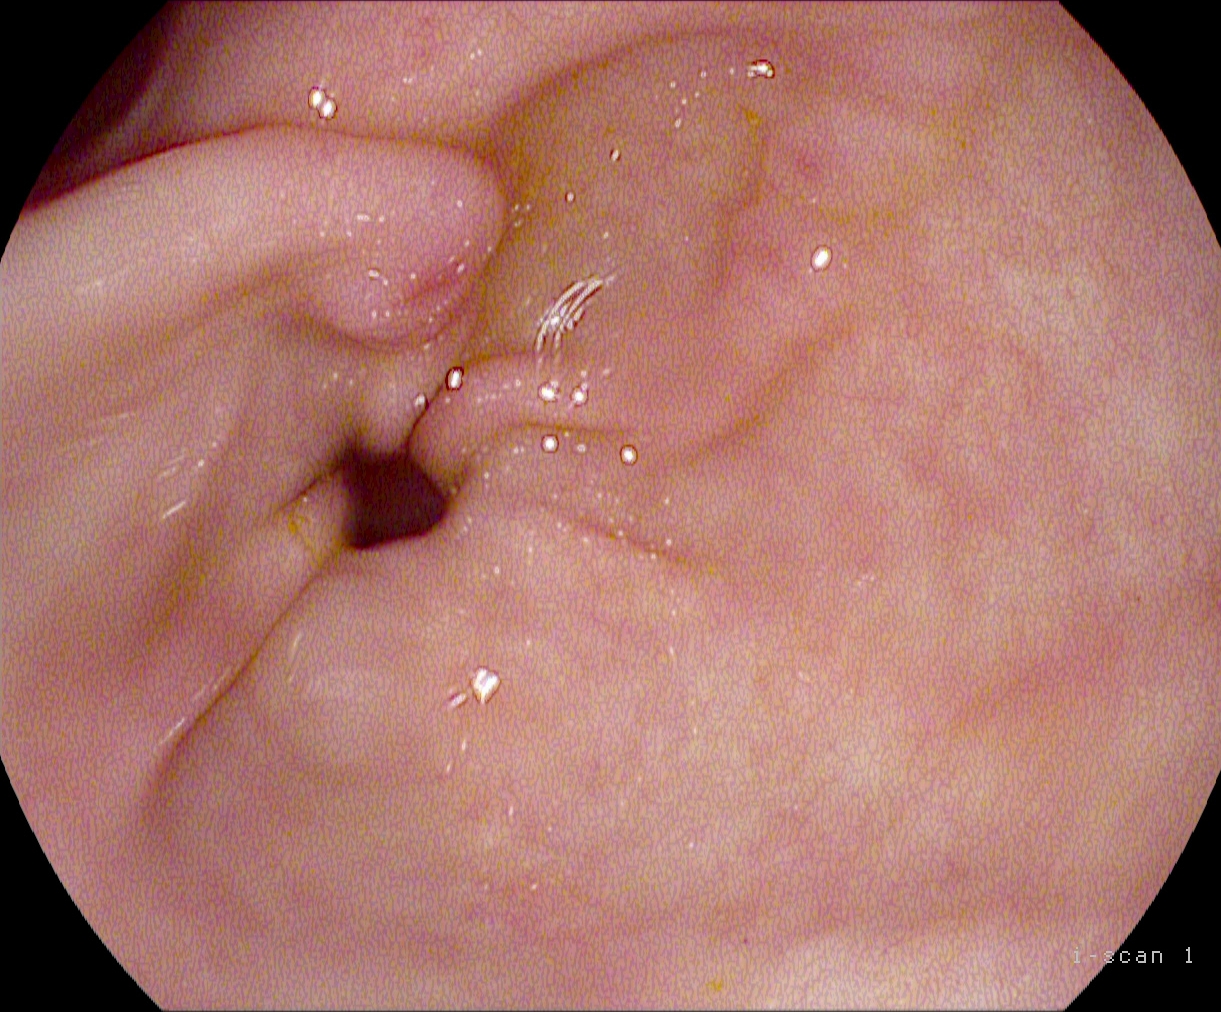PROCEDURE: EGD.
CATEGORY: Anatomical landmark.
FINDINGS: Pylorus.